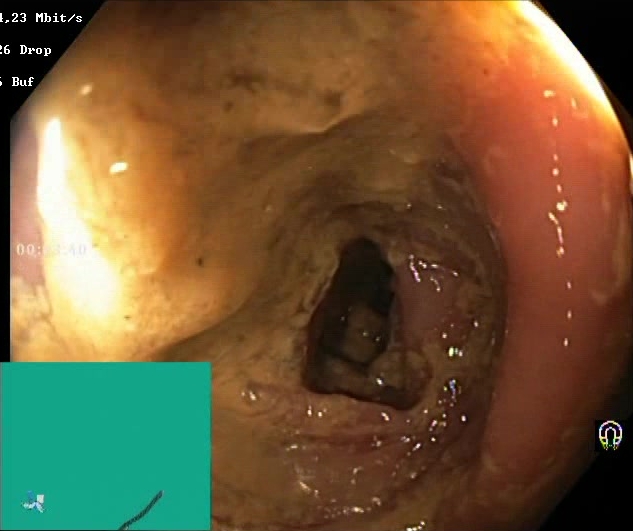Boston Bowel Preparation Scale score 0–1 (inadequate preparation).